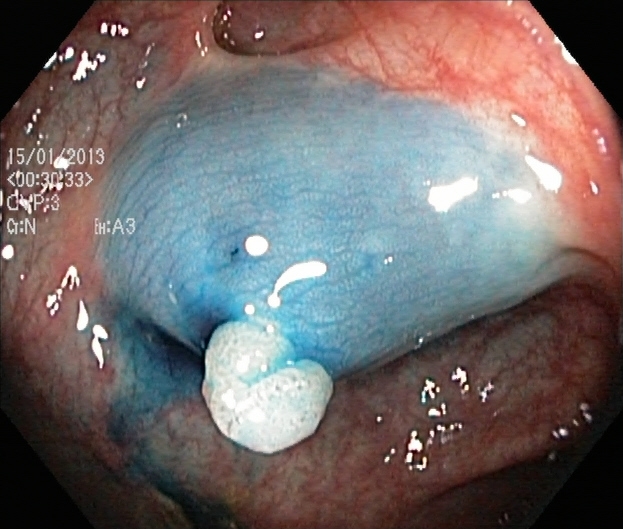Lower gastrointestinal endoscopy. Finding: dyed and lifted polyp (pre-resection).